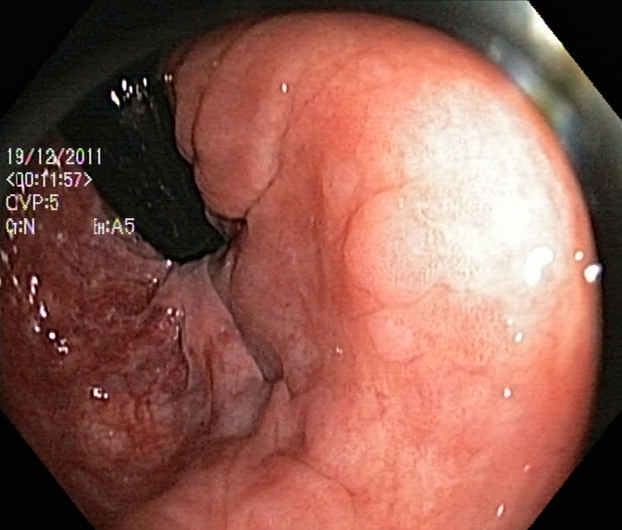Colonoscopy. Tract: lower GI tract. Finding: rectum in retroflexion.